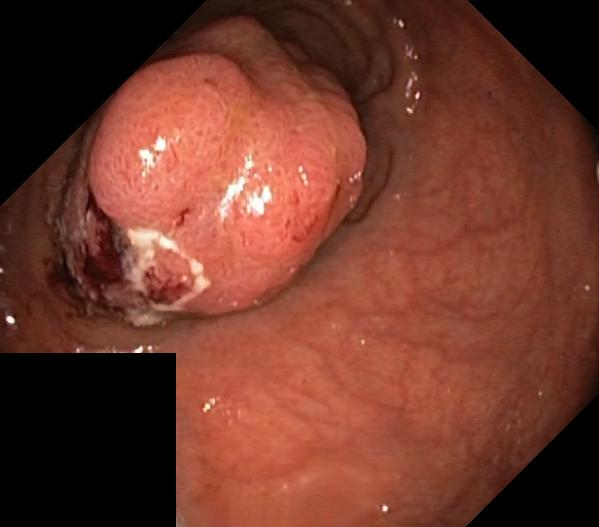modality: lower gastrointestinal endoscopy; tract: lower GI tract; finding: colorectal polyp(s)